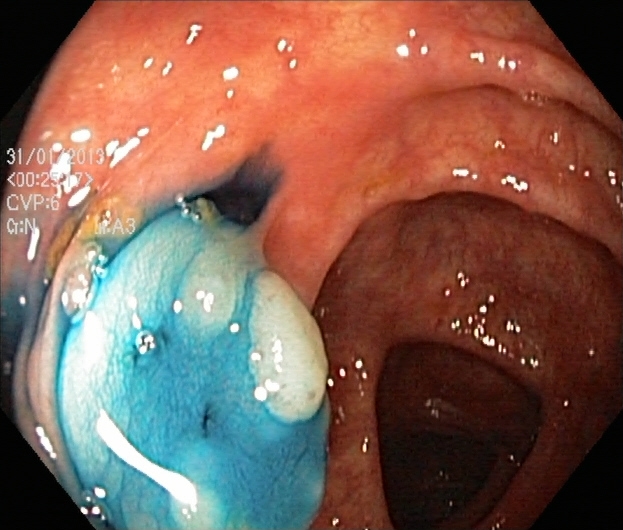Colonoscopy image of the lower GI tract showing dyed and lifted polyp (pre-resection).